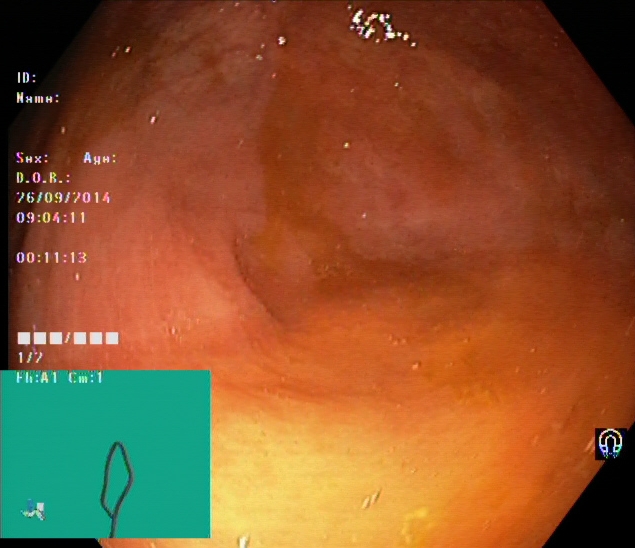This endoscopic image of the lower GI tract shows cecum.